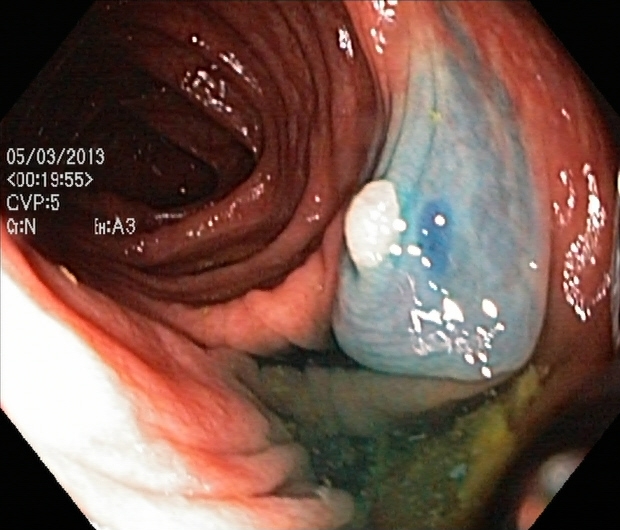Dyed and lifted polyp (pre-resection).